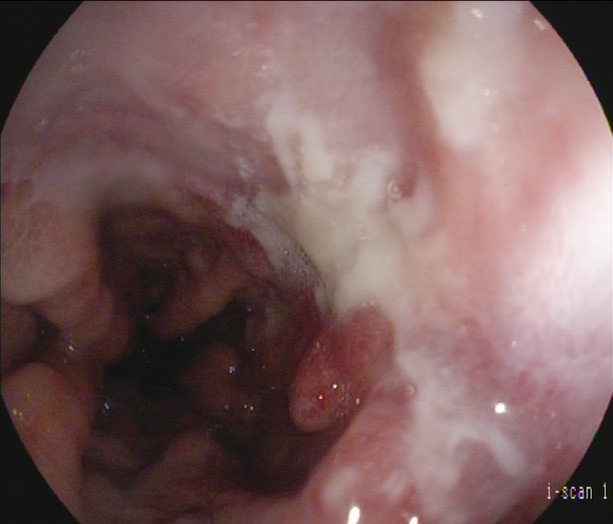Reflux esophagitis, LA grade B–D.